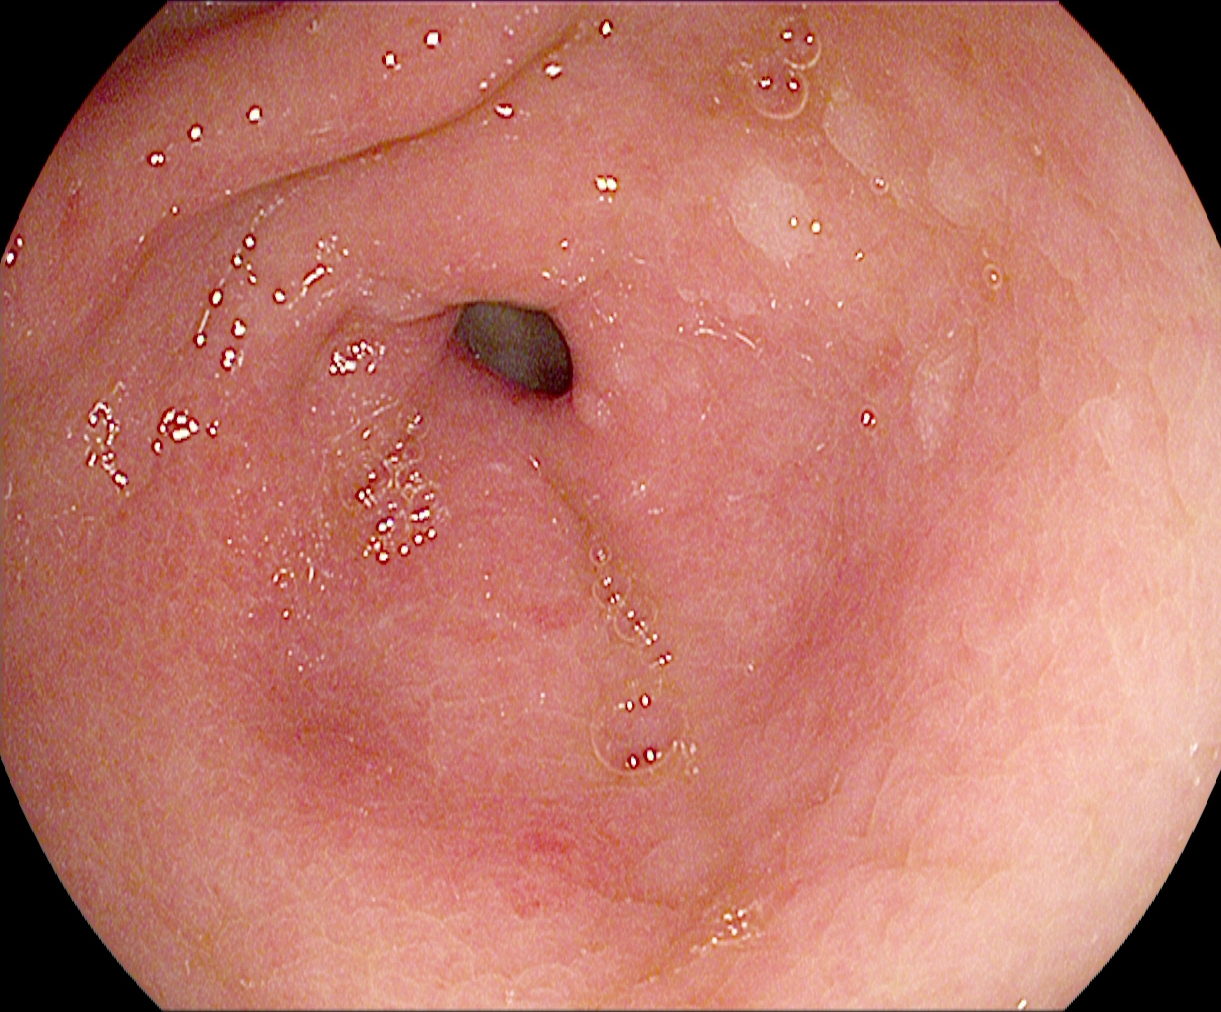Endoscopy image of the upper GI tract showing pylorus.